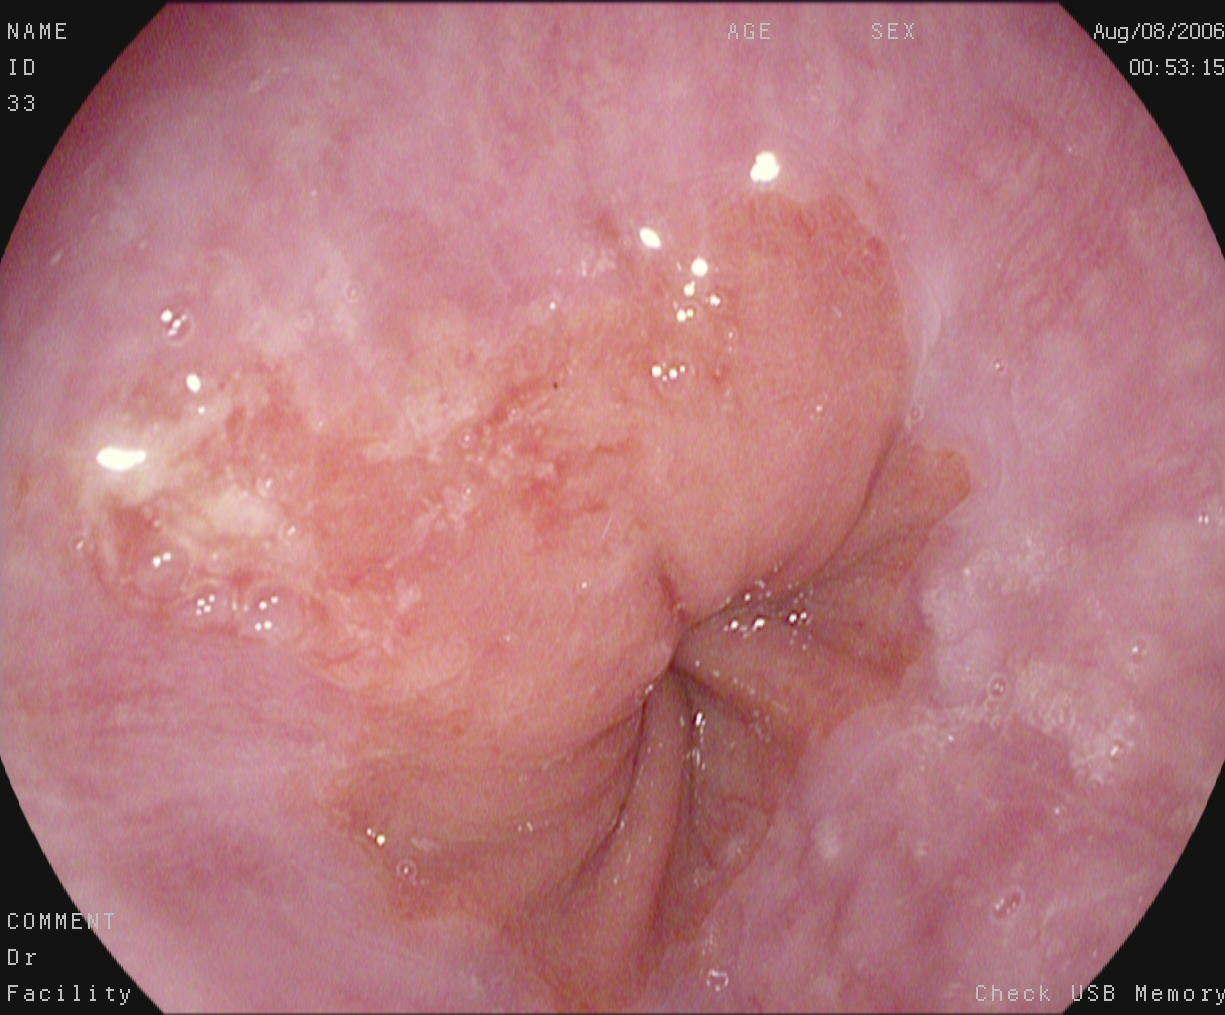reflux esophagitis, Los Angeles grade A.